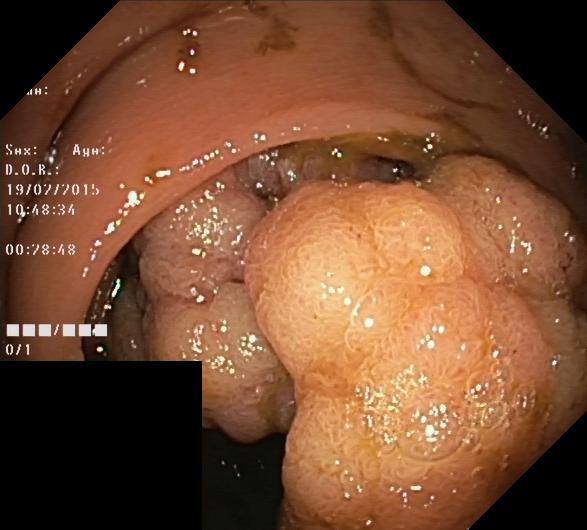{"modality": "colonoscopy", "category": "pathological finding", "finding": "colorectal polyp(s)"}